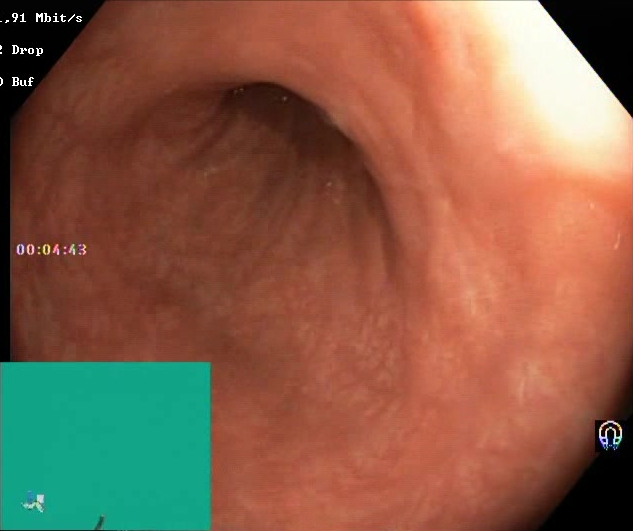PROCEDURE: Lower gastrointestinal endoscopy.
CATEGORY: Mucosal-view quality.
FINDINGS: Boston Bowel Preparation Scale score 2–3 (adequate preparation).